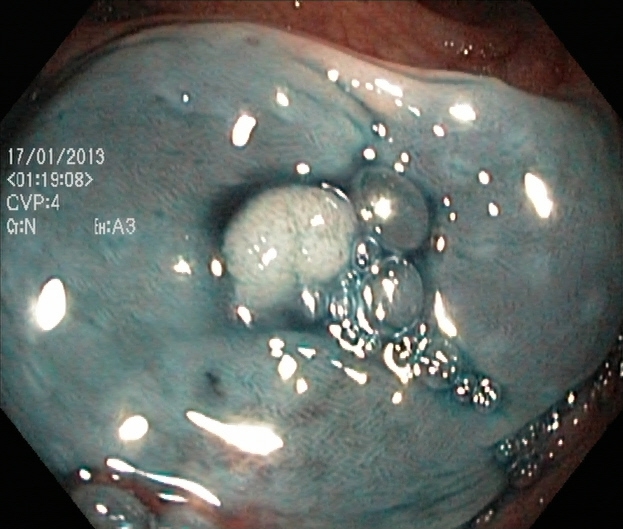dyed and lifted polyp (pre-resection).